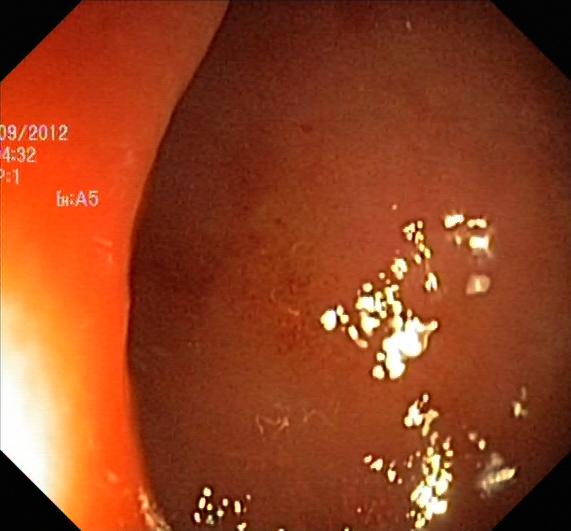modality: lower gastrointestinal endoscopy; tract: lower GI tract; finding: ulcerative colitis, Mayo endoscopic subscore 2